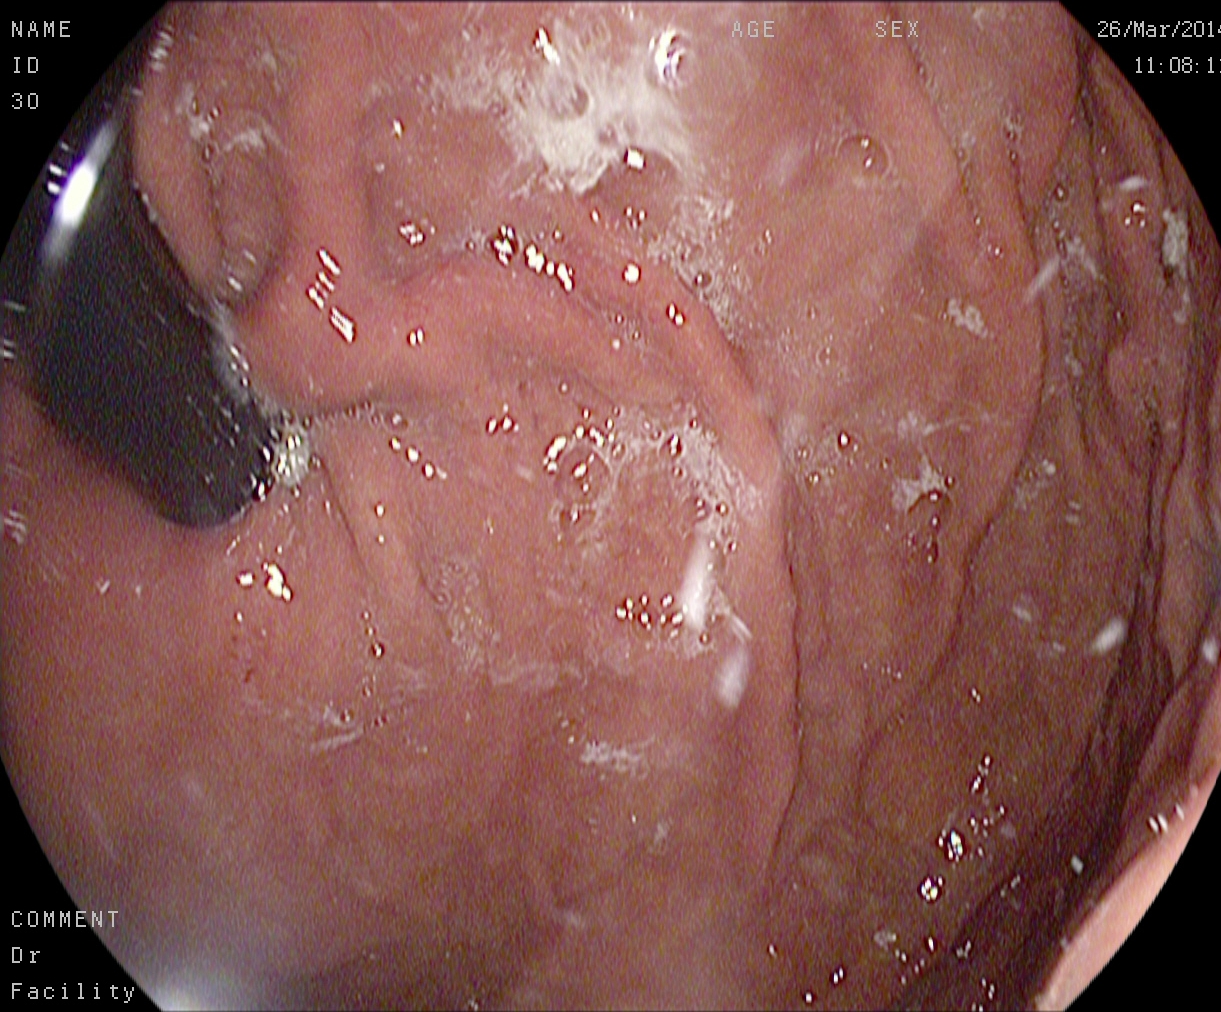PROCEDURE: Gastroscopy.
CATEGORY: Anatomical landmark.
FINDINGS: Stomach in retroflexion.